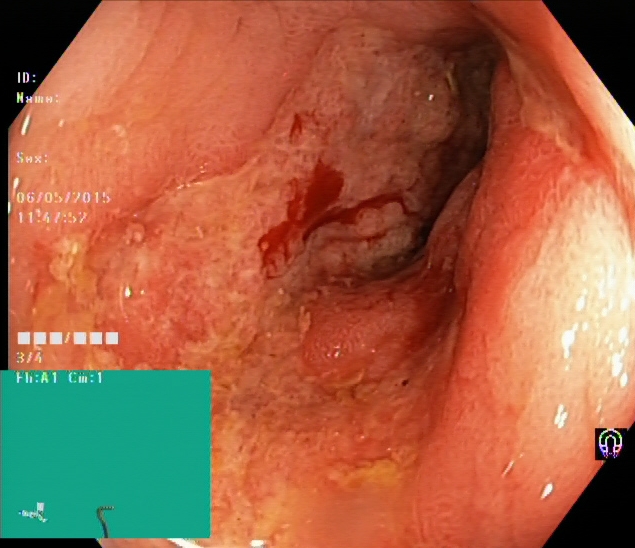modality: colonoscopy; tract: lower GI tract; finding: ulcerative colitis, Mayo endoscopic subscore 1